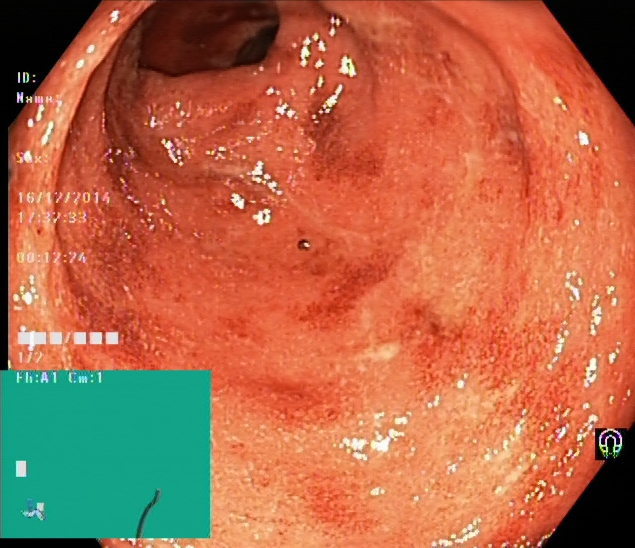Lower-GI endoscopy. Tract: lower GI tract. Finding: UC, Mayo endoscopic subscore 2.